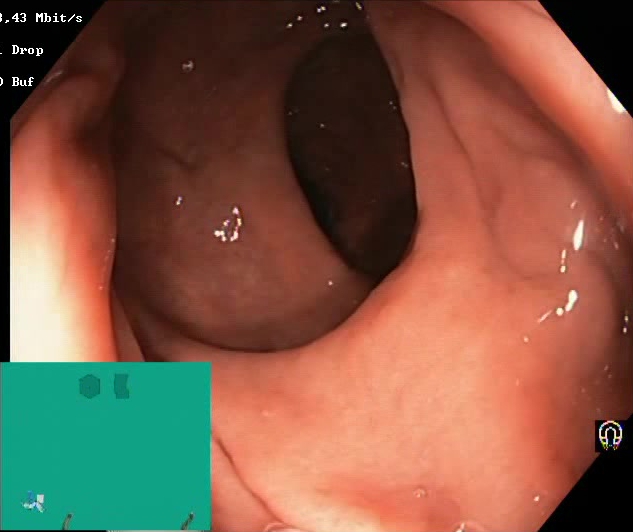BBPS score 2–3 (adequate preparation).